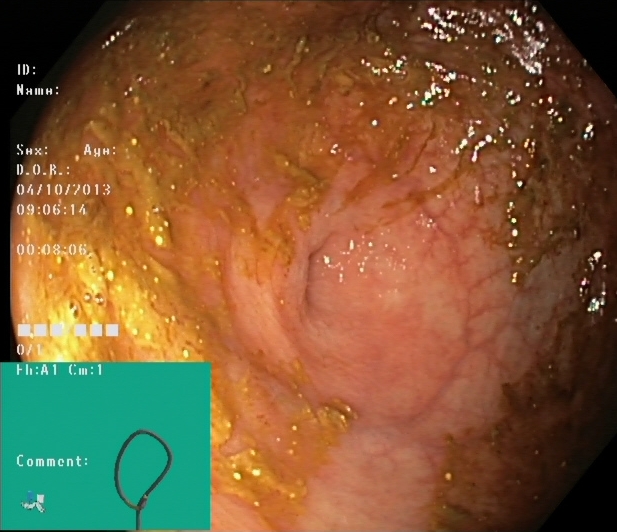{"modality": "lower-GI endoscopy", "finding": "cecum"}